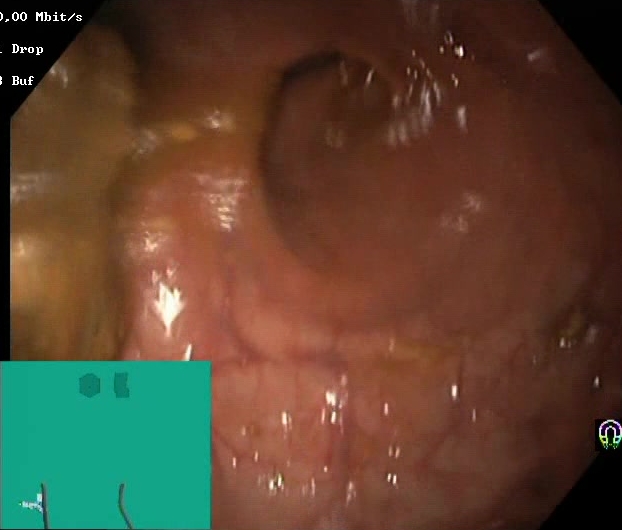Colonoscopy. Mucosal-view quality. Finding: Boston Bowel Preparation Scale score 0–1 (inadequate preparation).